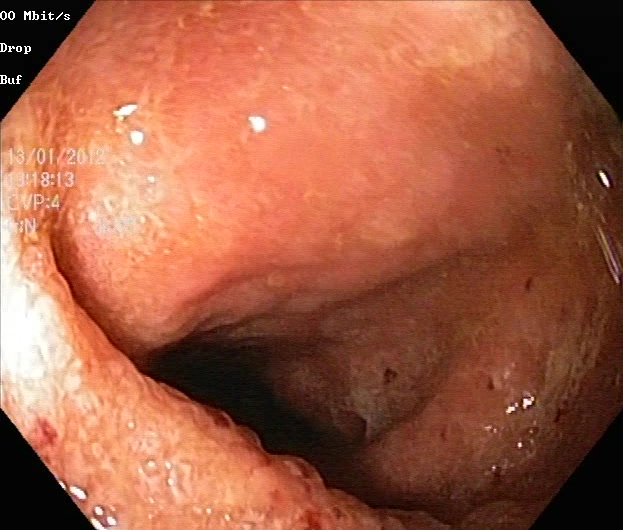Colonoscopy. Tract: lower GI tract. Finding: ulcerative colitis, Mayo endoscopic subscore 2.